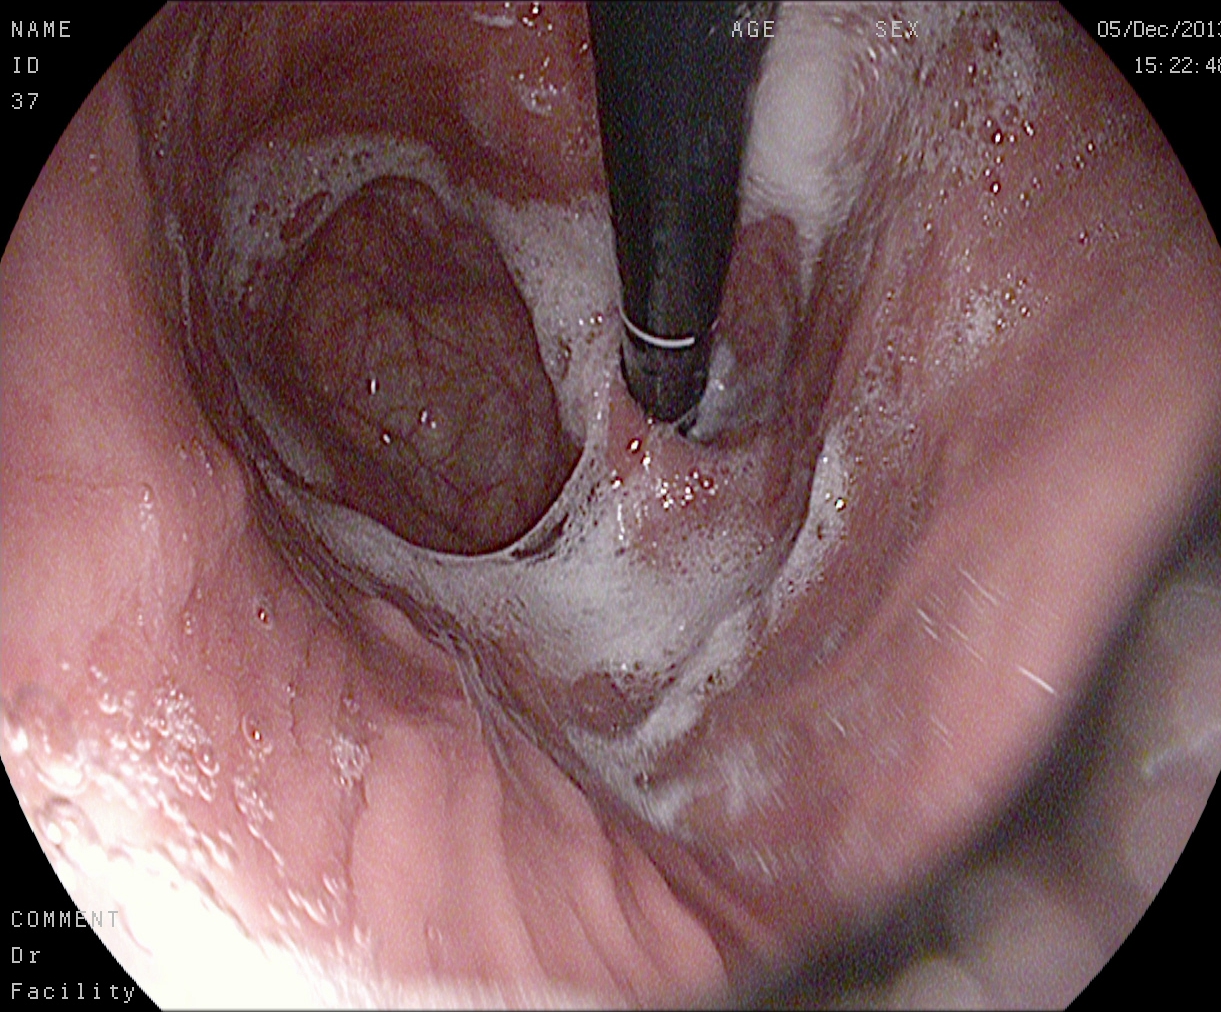stomach in retroflexion.